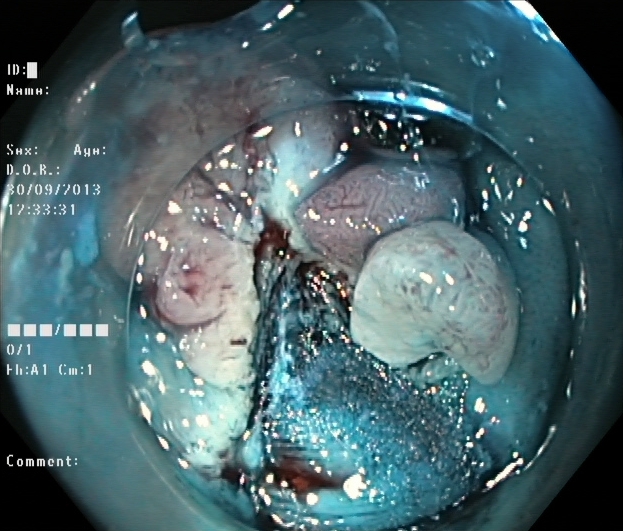PROCEDURE: Lower gastrointestinal endoscopy.
CATEGORY: Therapeutic intervention.
FINDINGS: Dyed and lifted polyp (pre-resection).